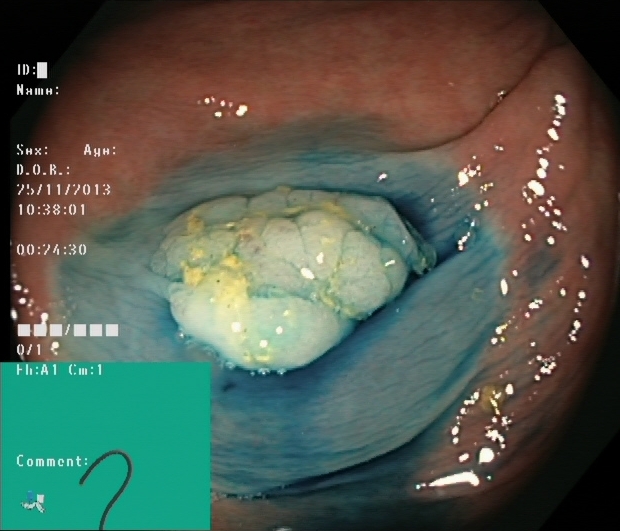This endoscopy frame shows dyed and lifted polyp (pre-resection).